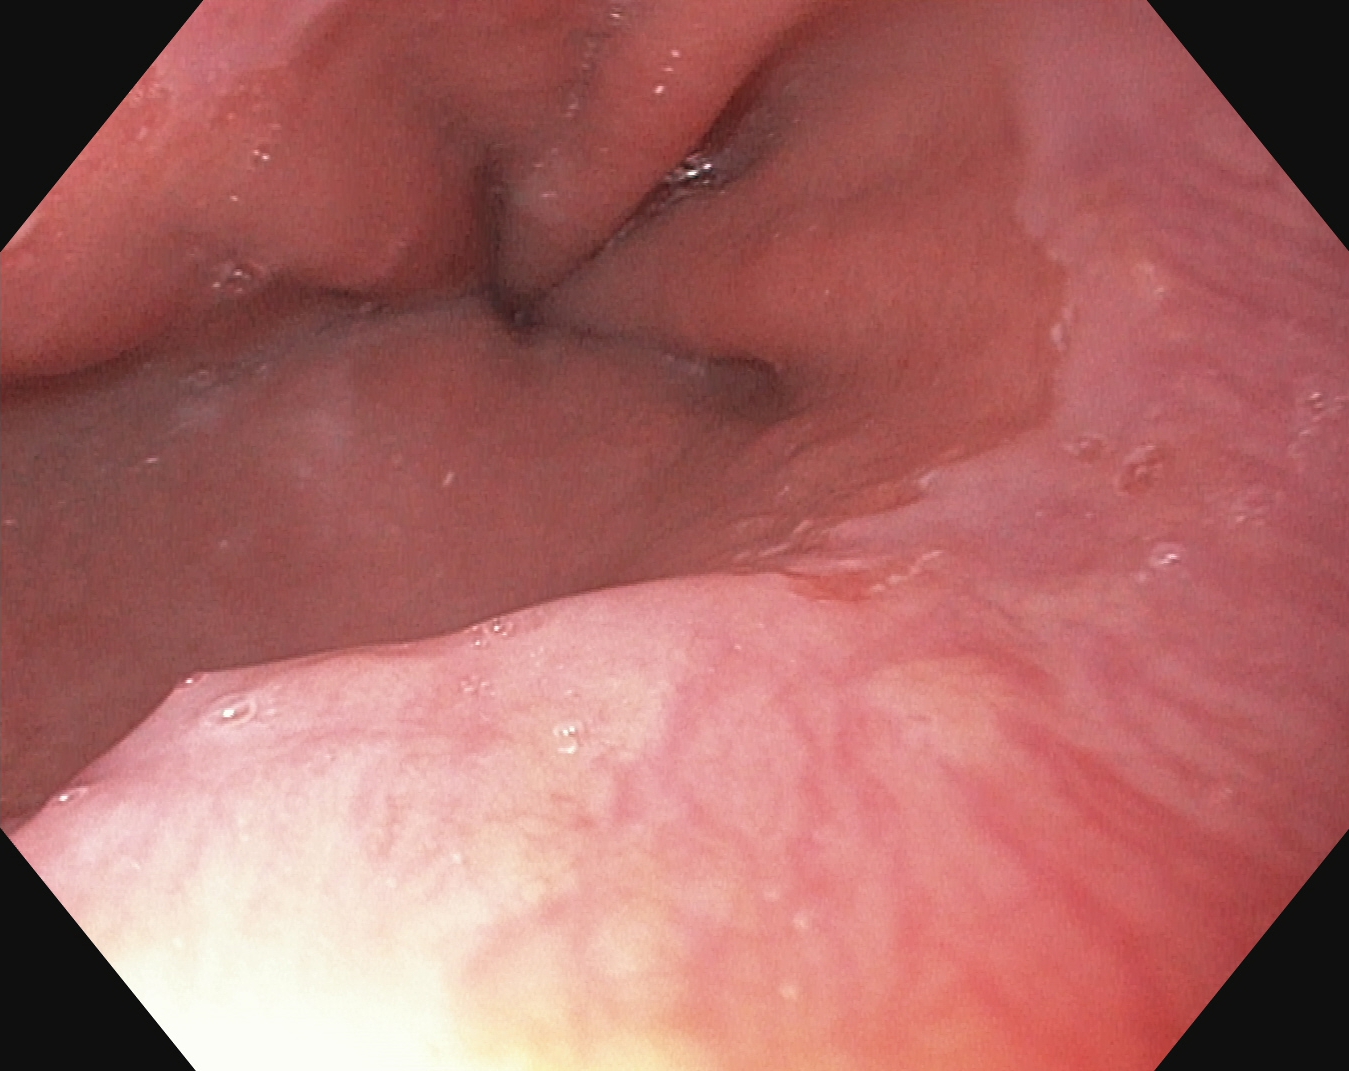PROCEDURE: Esophagogastroduodenoscopy.
CATEGORY: Anatomical landmark.
FINDINGS: Z-line (gastroesophageal junction).